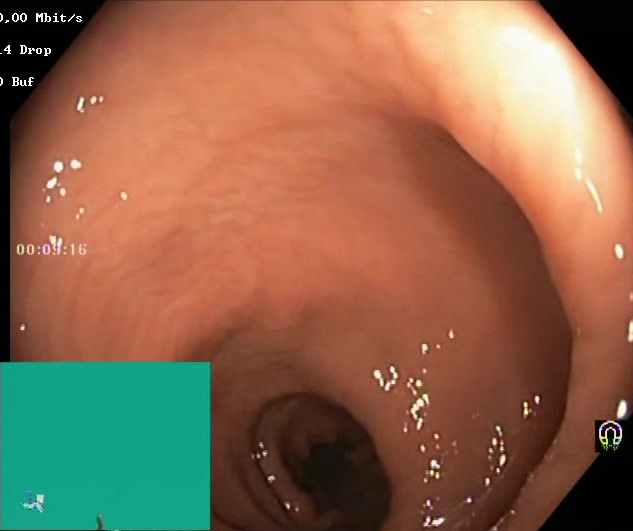Gastrointestinal endoscopy image of the lower GI tract showing Boston Bowel Preparation Scale score 2–3 (adequate preparation).